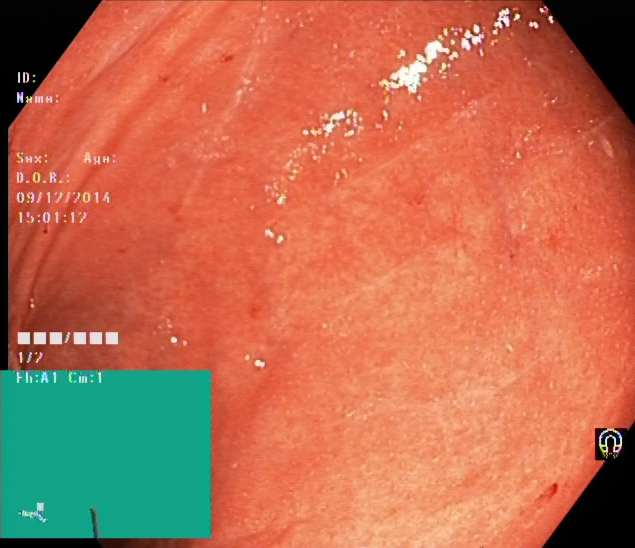modality: lower gastrointestinal endoscopy | finding: UC, Mayo endoscopic subscore 1